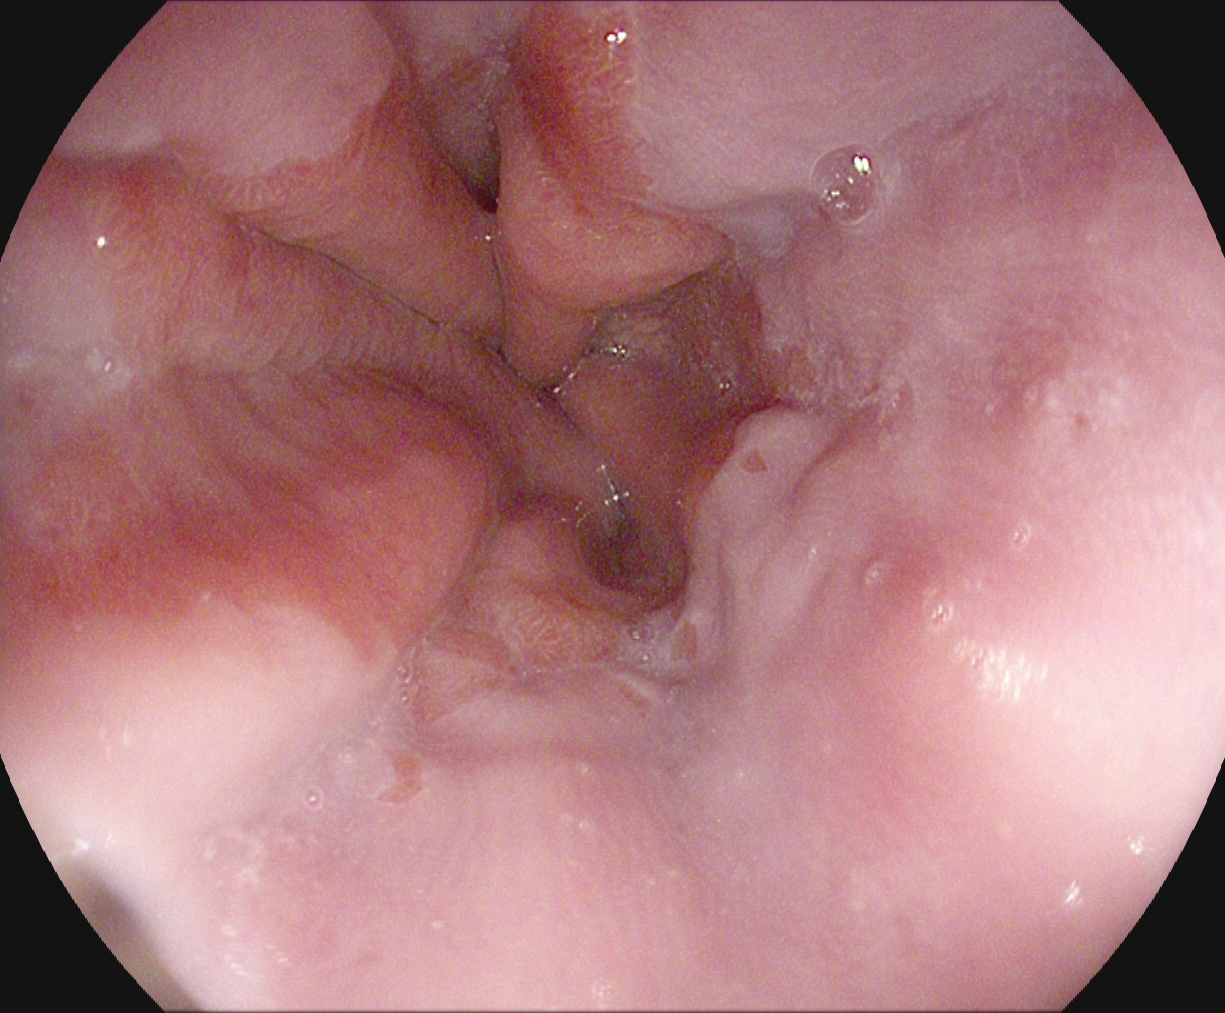{"modality": "upper-GI endoscopy", "category": "pathological finding", "finding": "reflux esophagitis, LA grade A"}